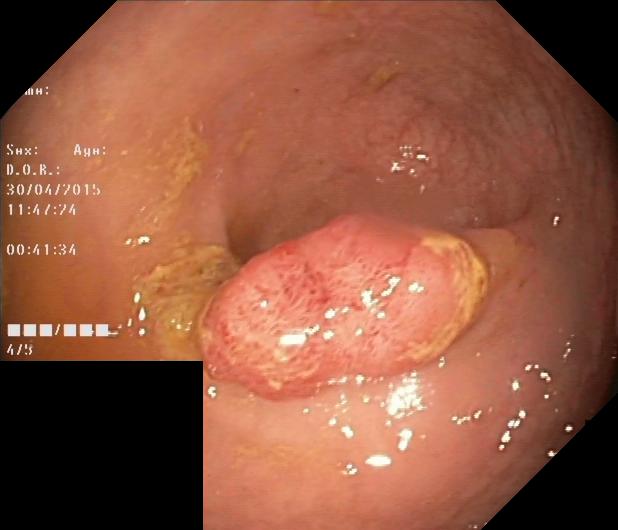Colonoscopy — colorectal polyp(s).